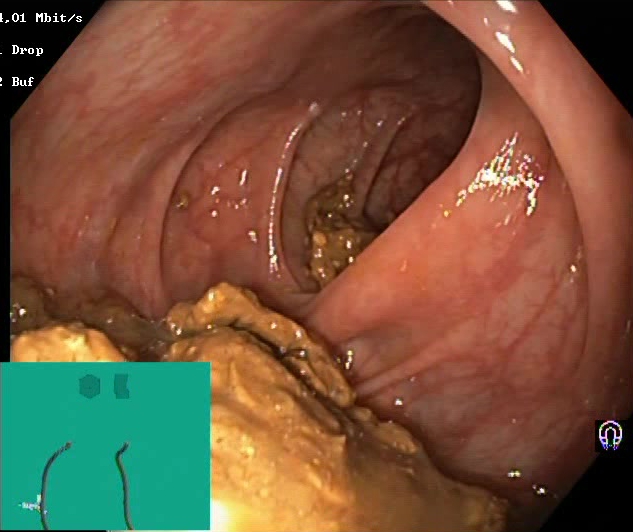This endoscopic image shows Boston Bowel Preparation Scale score 0–1 (inadequate preparation).